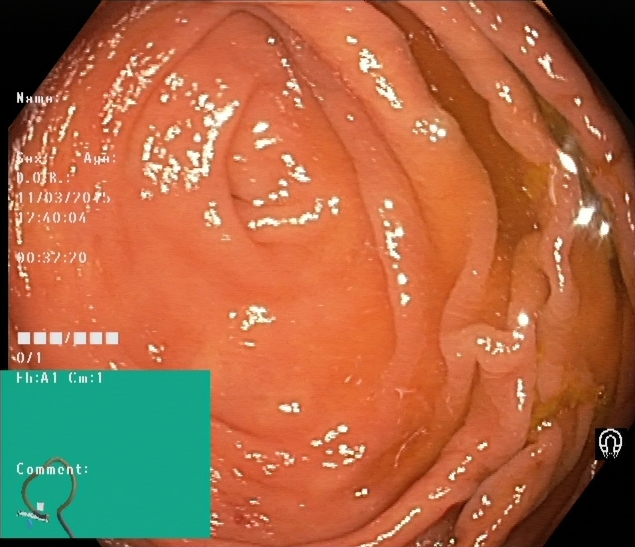modality: lower-GI endoscopy
tract: lower GI tract
finding: cecum